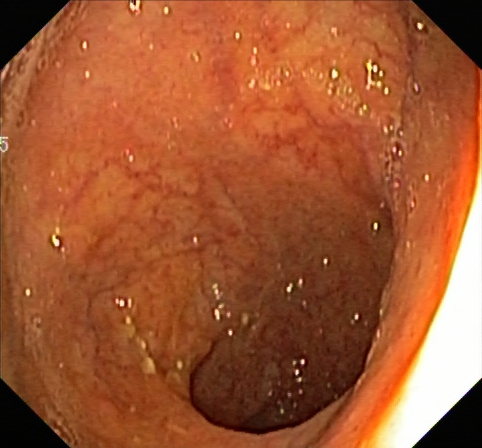modality: lower gastrointestinal endoscopy; category: pathological finding; finding: ulcerative colitis, Mayo endoscopic subscore 1